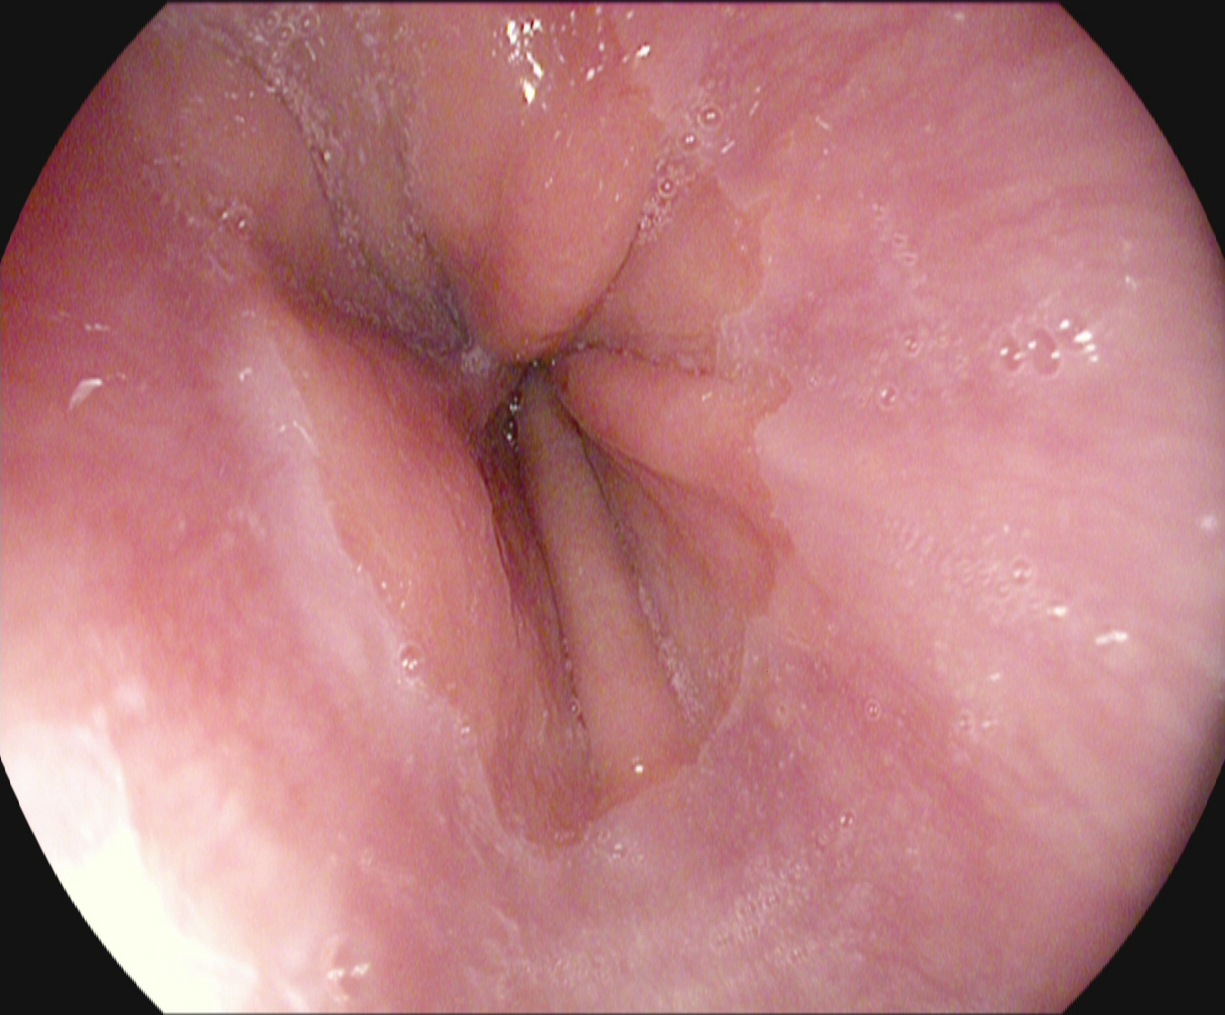This endoscopy frame of the upper GI tract shows Z-line (gastroesophageal junction).